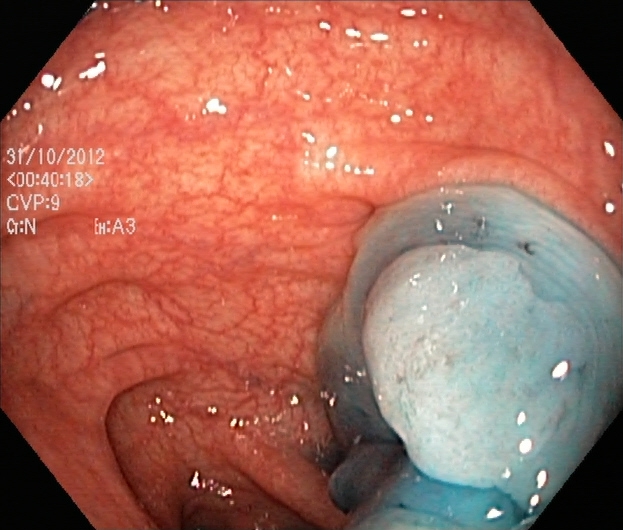{"modality": "colonoscopy", "tract": "lower GI tract", "category": "therapeutic intervention", "finding": "dyed and lifted polyp (pre-resection)"}